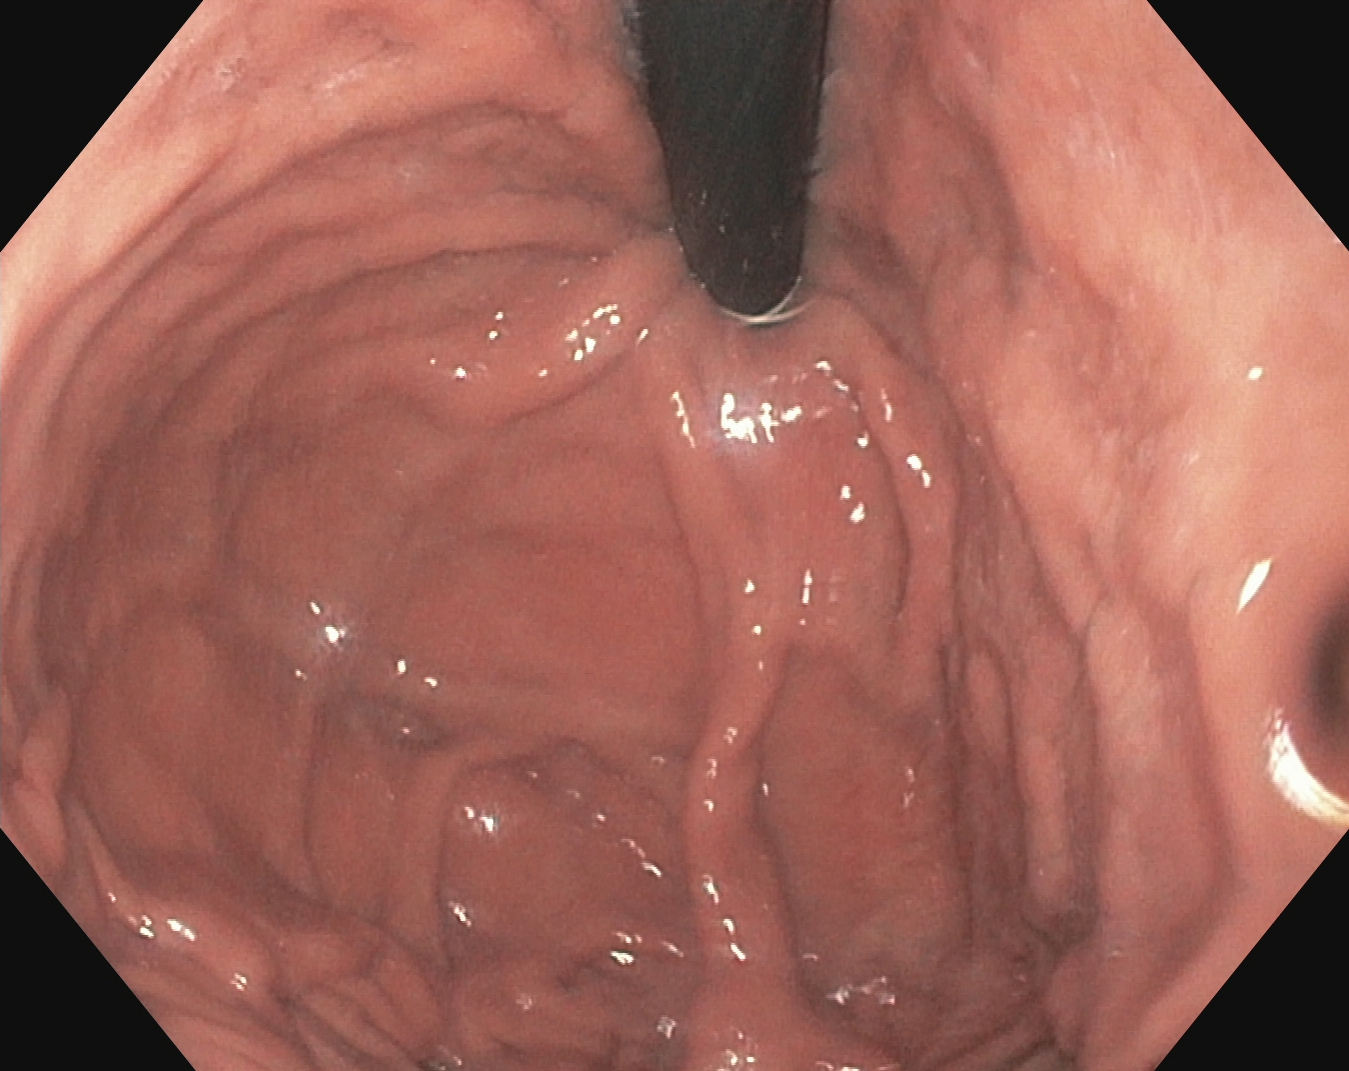stomach in retroflexion.